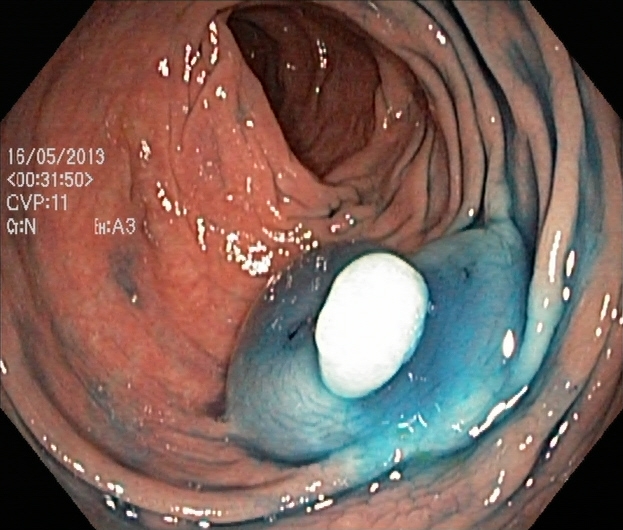PROCEDURE: Lower-GI endoscopy.
FINDINGS: Dyed and lifted polyp (pre-resection).